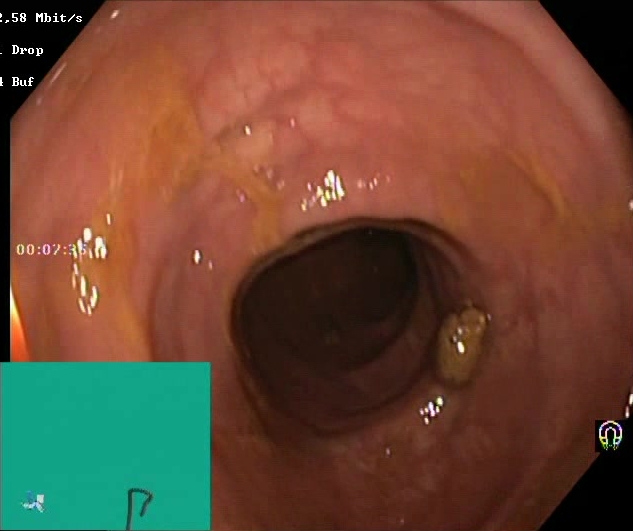Lower-GI endoscopy — BBPS score 2–3 (adequate preparation).